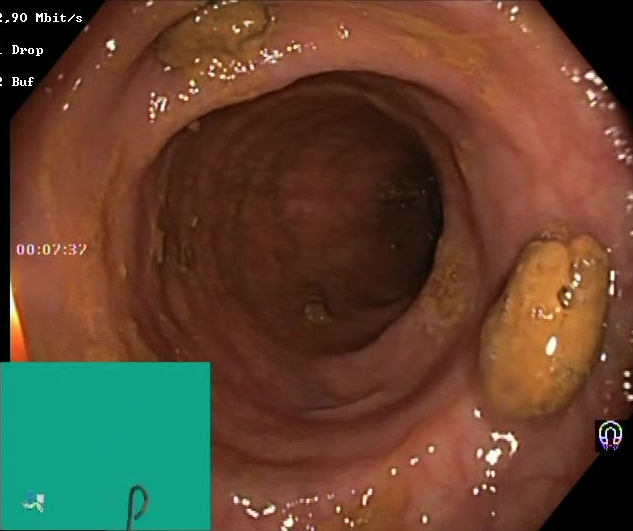Lower-GI endoscopy — impacted stool.